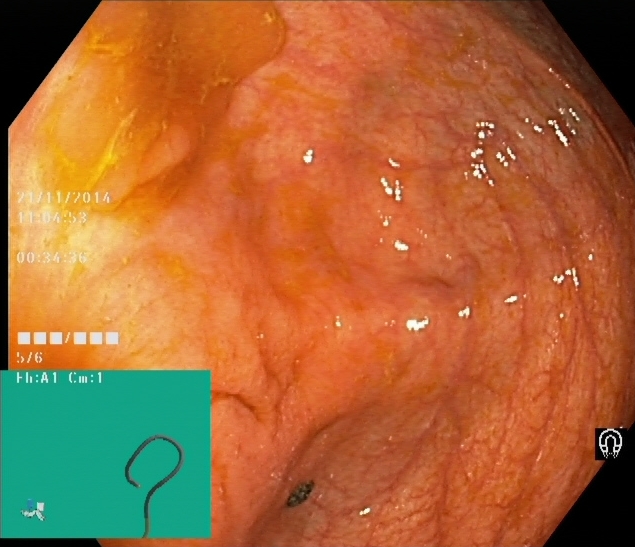PROCEDURE: Lower gastrointestinal endoscopy.
CATEGORY: Anatomical landmark.
FINDINGS: Cecum.